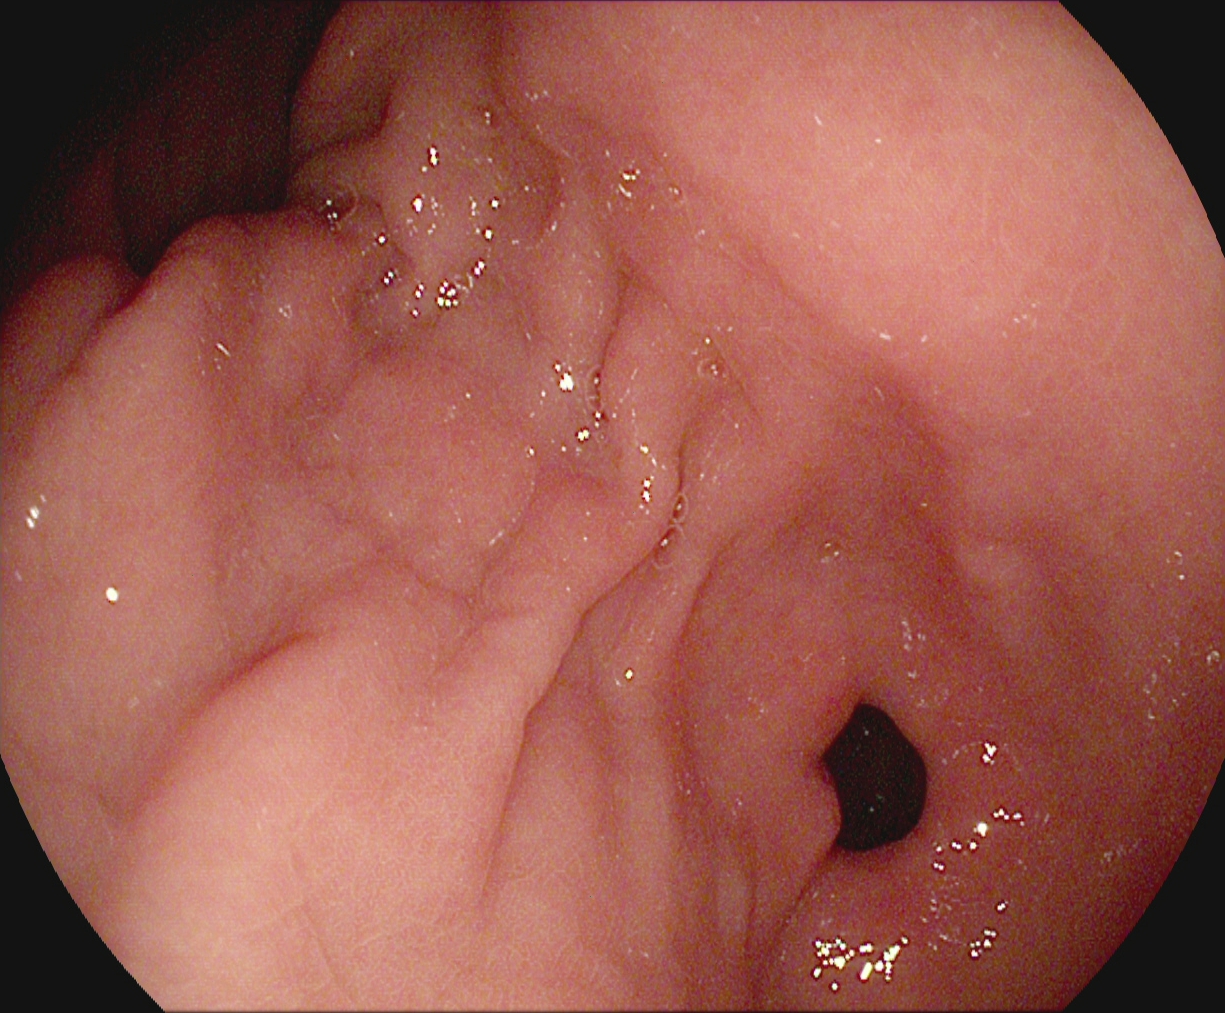{"modality": "esophagogastroduodenoscopy", "tract": "upper GI tract", "category": "anatomical landmark", "finding": "pylorus"}